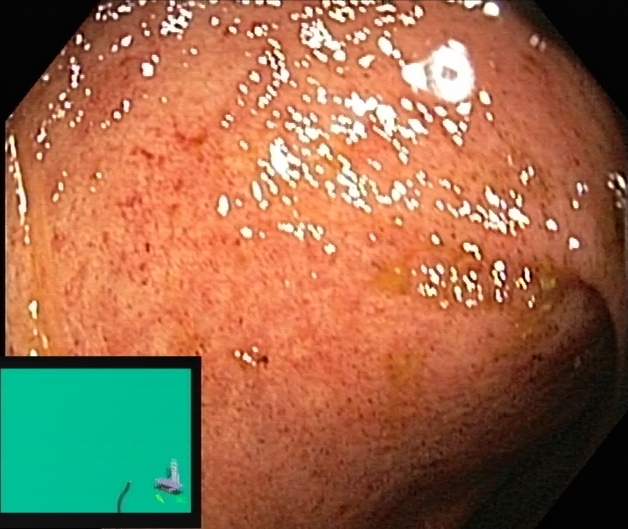This endoscopy frame of the lower GI tract shows ulcerative colitis, Mayo endoscopic subscore 2.